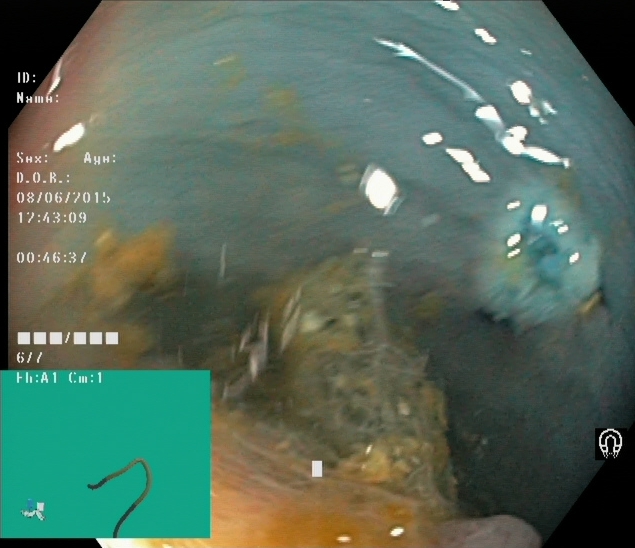Colonoscopy — dyed and lifted polyp (pre-resection).